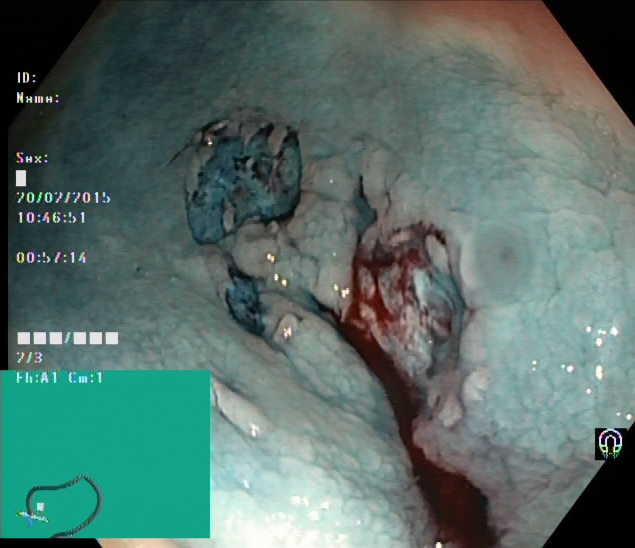modality: colonoscopy | finding: dyed resection margins (post-polypectomy)